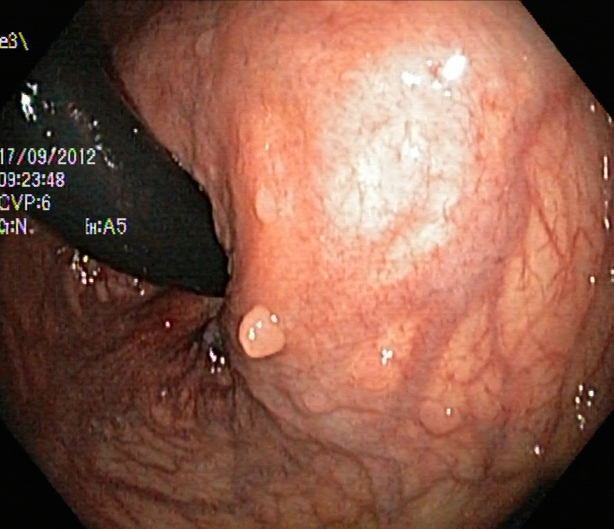PROCEDURE: Lower gastrointestinal endoscopy.
FINDINGS: Rectum in retroflexion.